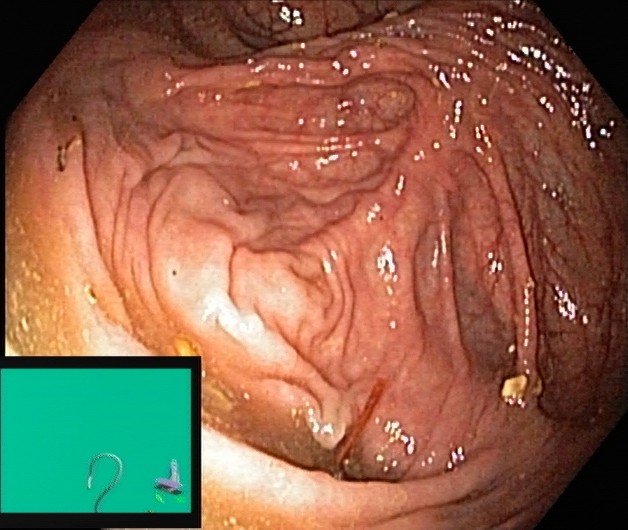Cecum.